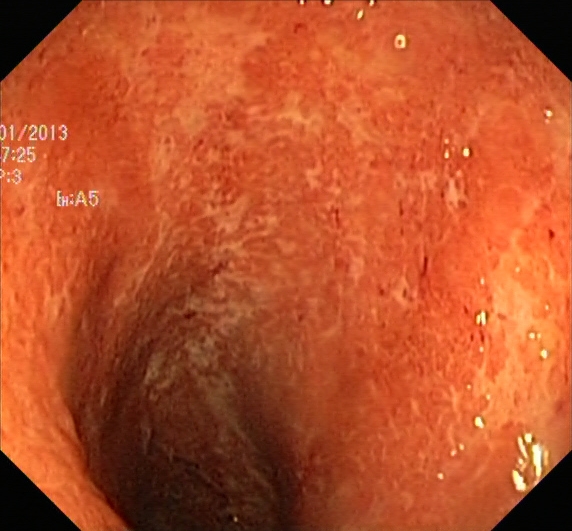This endoscopic image shows UC, Mayo endoscopic subscore 2–3.